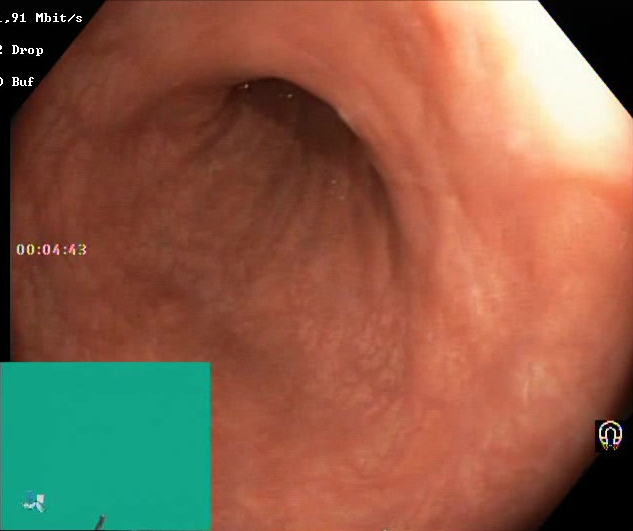modality: colonoscopy | category: mucosal-view quality | finding: Boston Bowel Preparation Scale score 2–3 (adequate preparation)